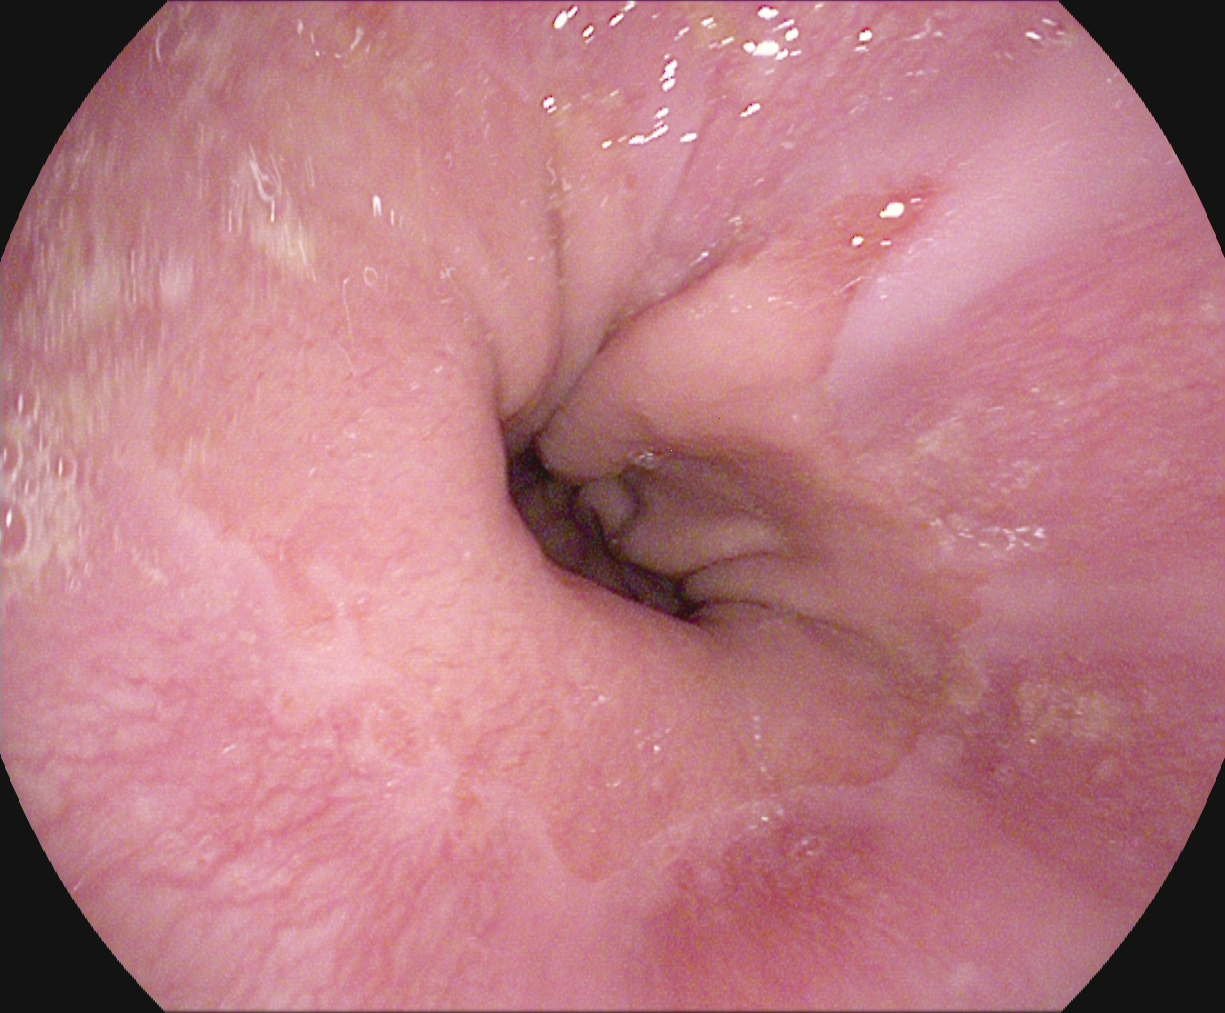PROCEDURE: Upper-GI endoscopy.
FINDINGS: Reflux esophagitis, Los Angeles grade A.